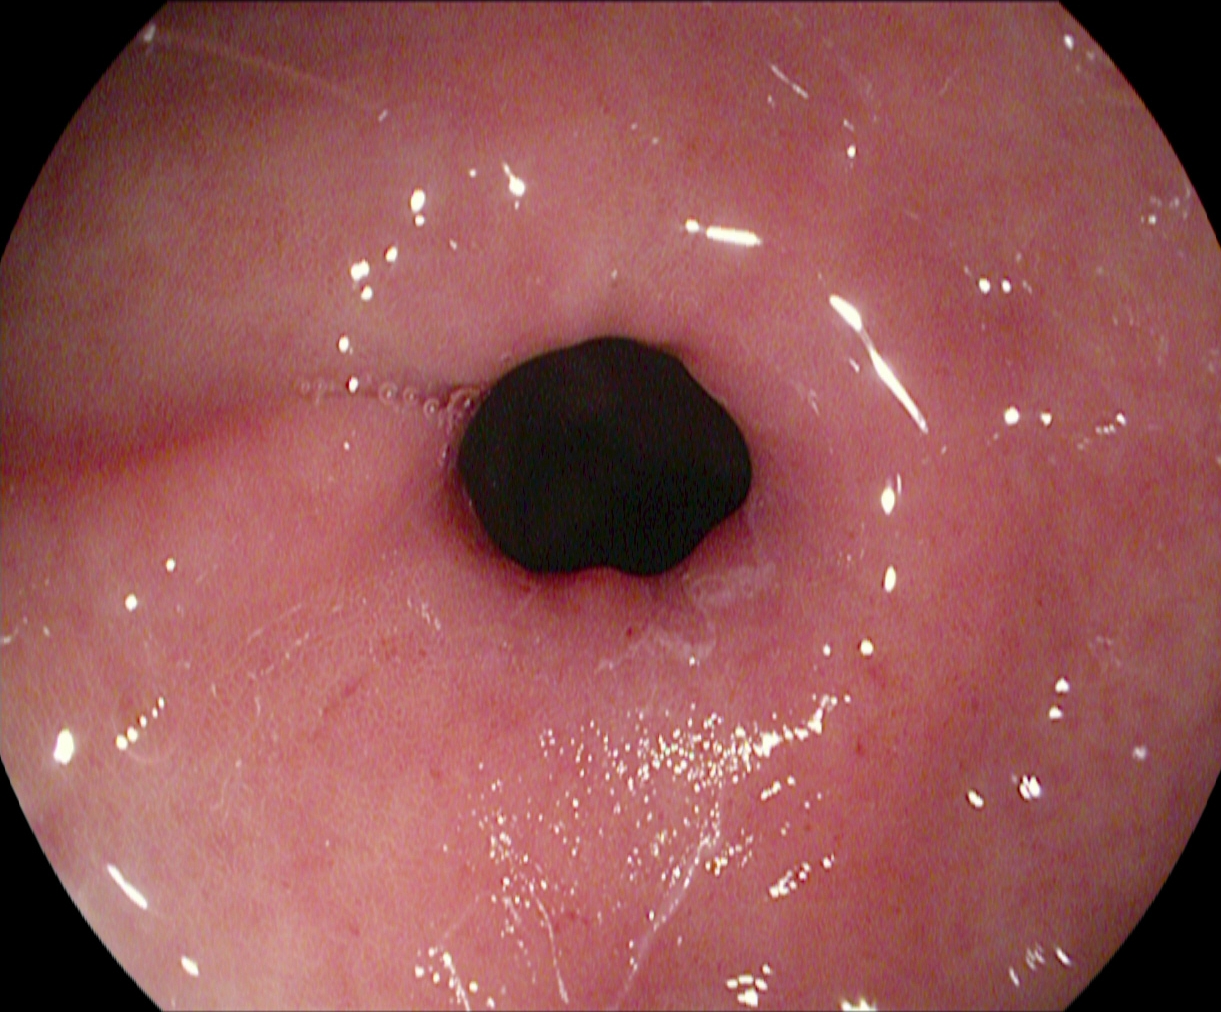pylorus.